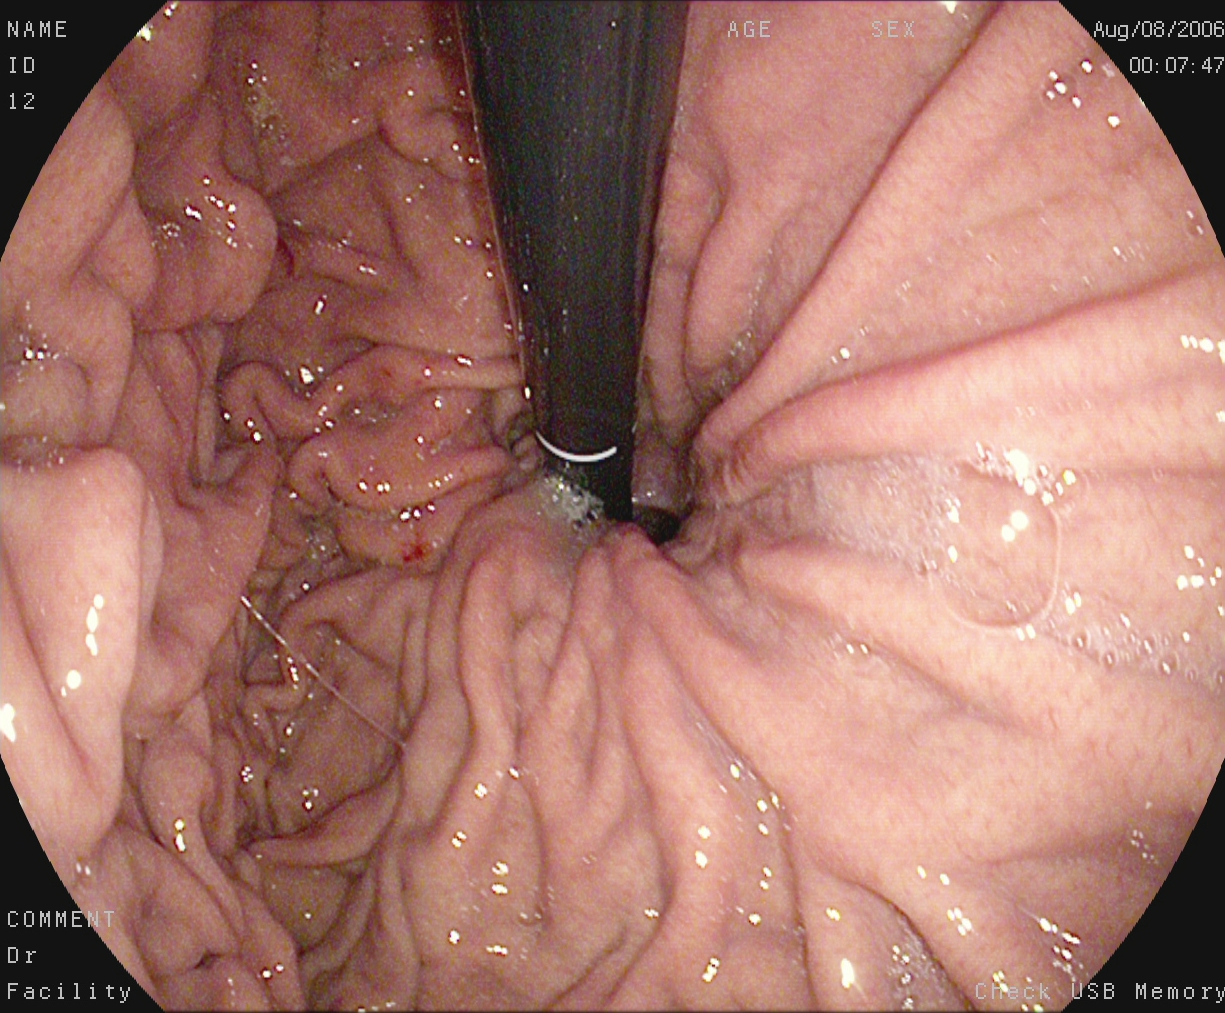stomach in retroflexion.